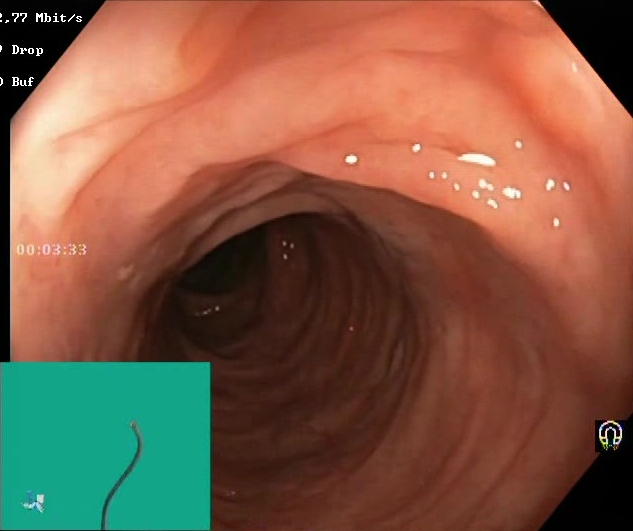modality: lower gastrointestinal endoscopy
finding: BBPS score 2–3 (adequate preparation)